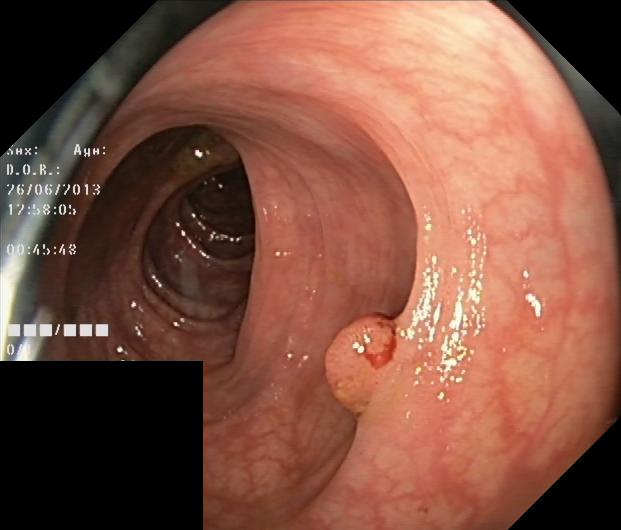Colonoscopy. Finding: colorectal polyp(s).